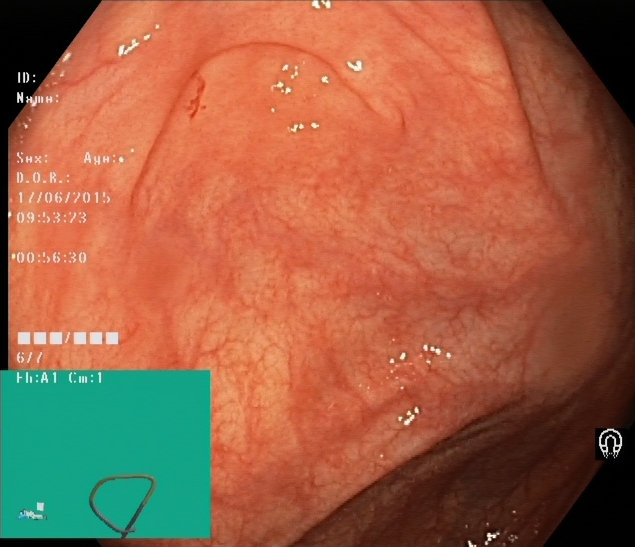Gastrointestinal endoscopy image showing cecum.